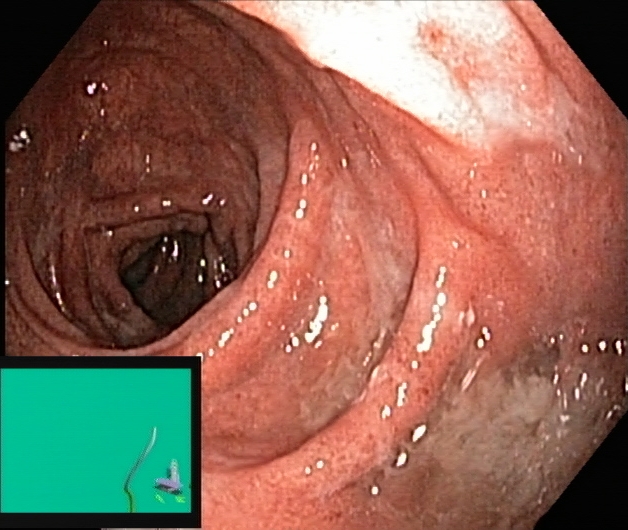Colonoscopy image showing ulcerative colitis, Mayo endoscopic subscore 1.